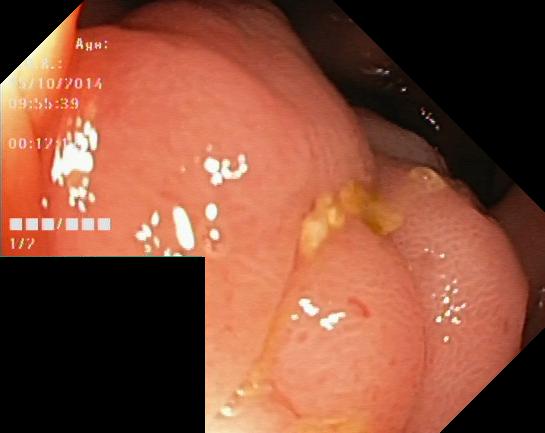Lower gastrointestinal endoscopy. Tract: lower GI tract. Finding: colorectal polyp(s).